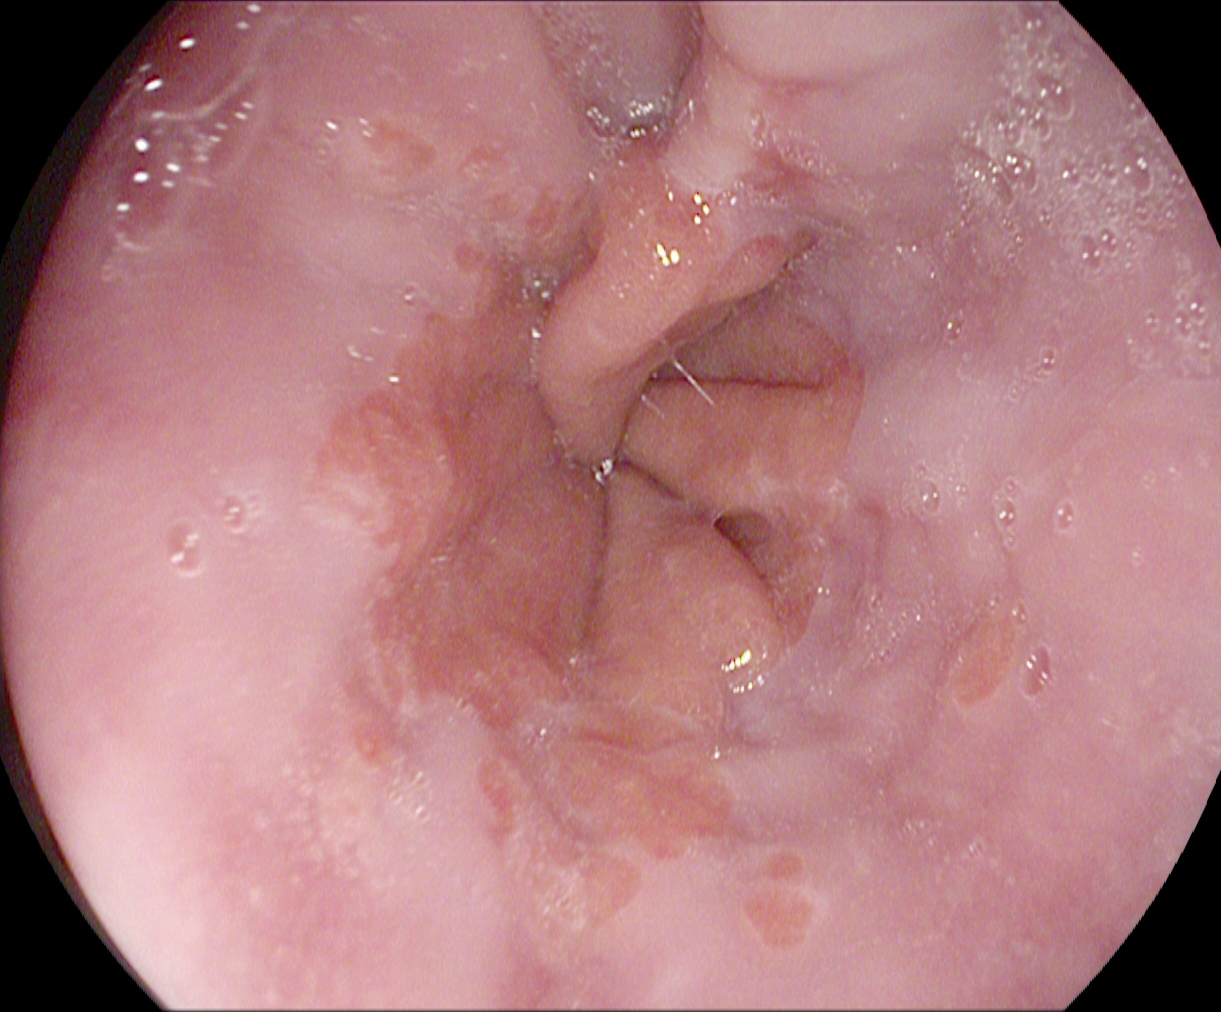{"modality": "upper-GI endoscopy", "category": "anatomical landmark", "finding": "Z-line (gastroesophageal junction)"}